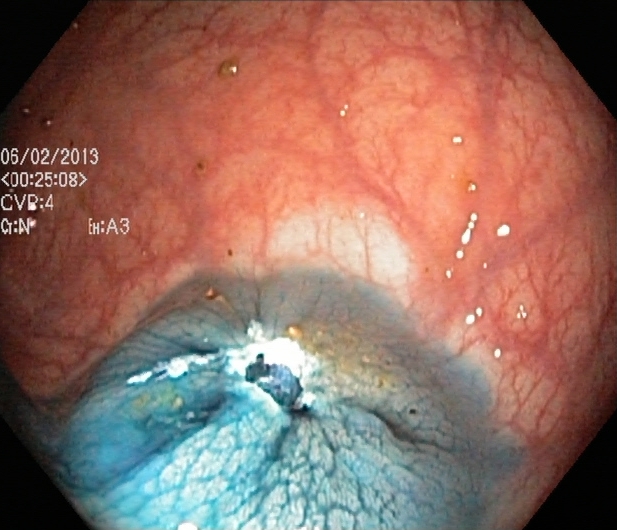Lower-GI endoscopy — dyed resection margins (post-polypectomy).